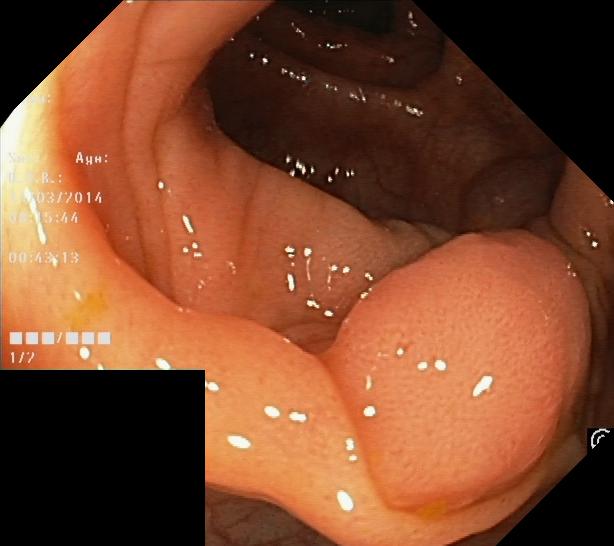Colorectal polyp(s).